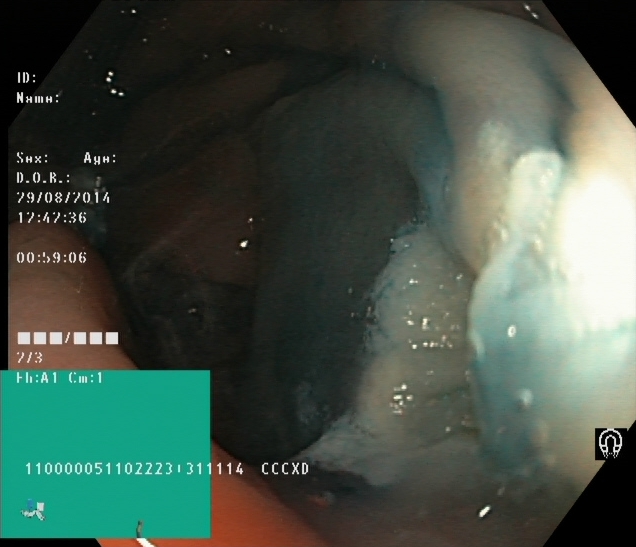This endoscopy frame shows dyed and lifted polyp (pre-resection).